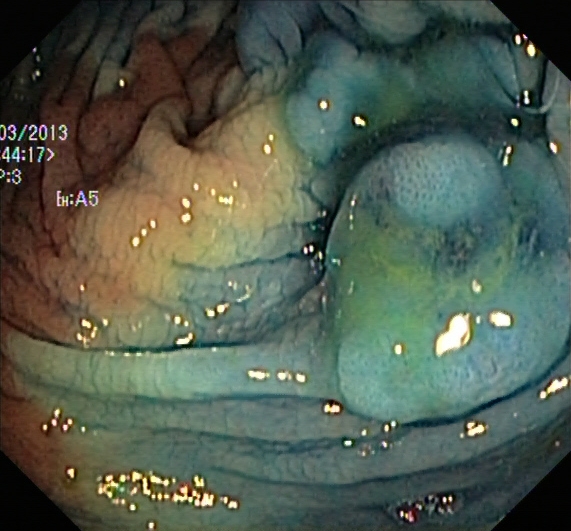Lower-GI endoscopy. Tract: lower GI tract. Therapeutic intervention. Finding: dyed and lifted polyp (pre-resection).